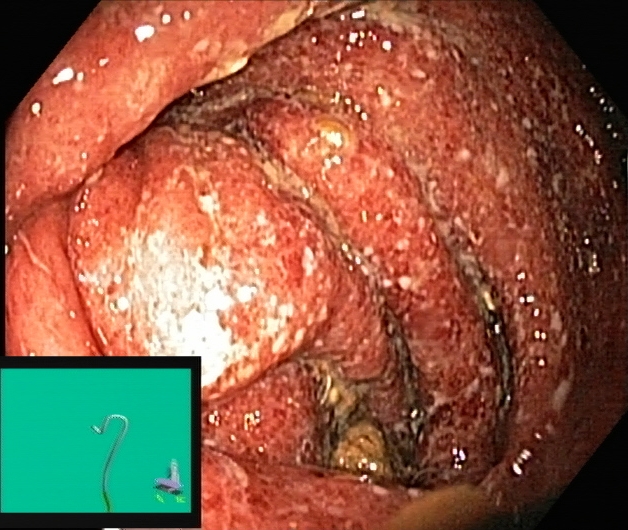modality: lower gastrointestinal endoscopy
tract: lower GI tract
finding: ulcerative colitis, Mayo endoscopic subscore 3